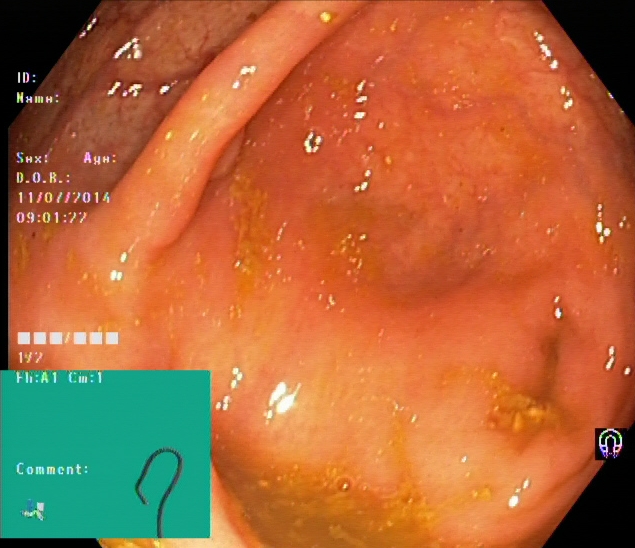Cecum.